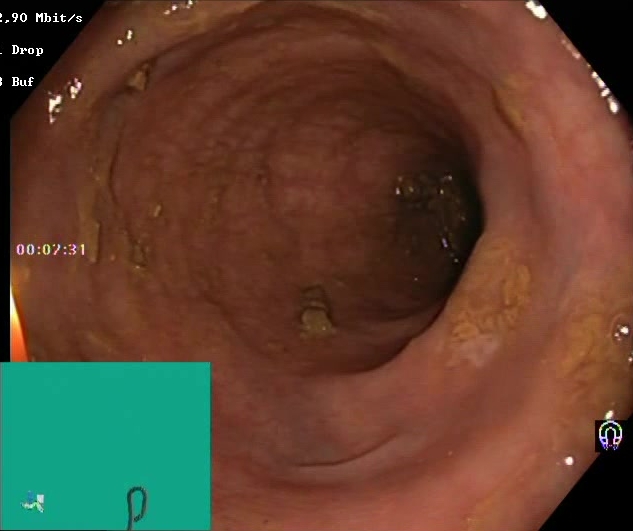modality: lower gastrointestinal endoscopy; tract: lower GI tract; category: mucosal-view quality; finding: Boston Bowel Preparation Scale score 2–3 (adequate preparation)